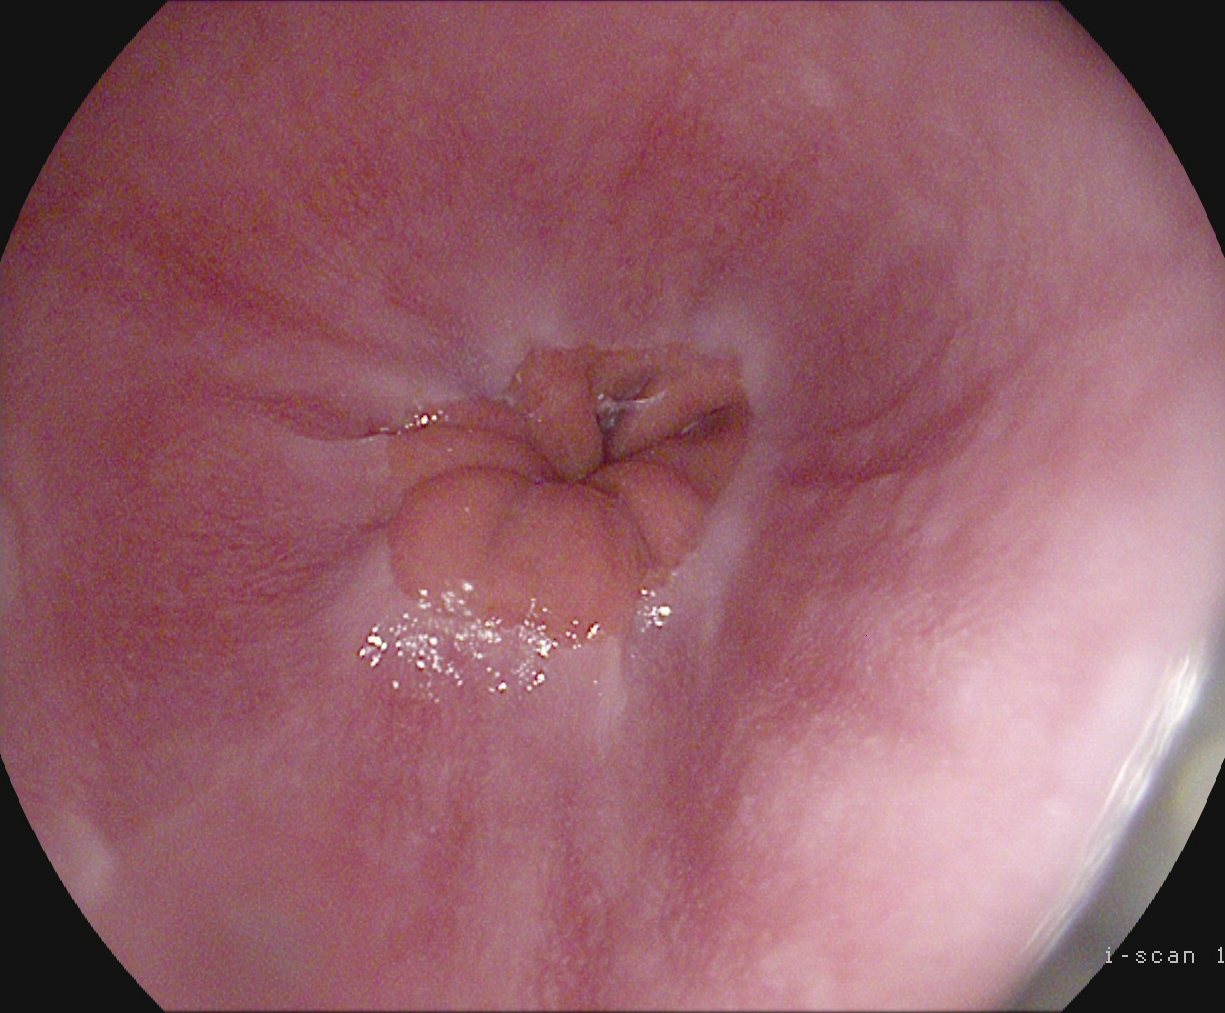Upper-GI endoscopy. Tract: upper GI tract. Finding: Z-line (gastroesophageal junction).